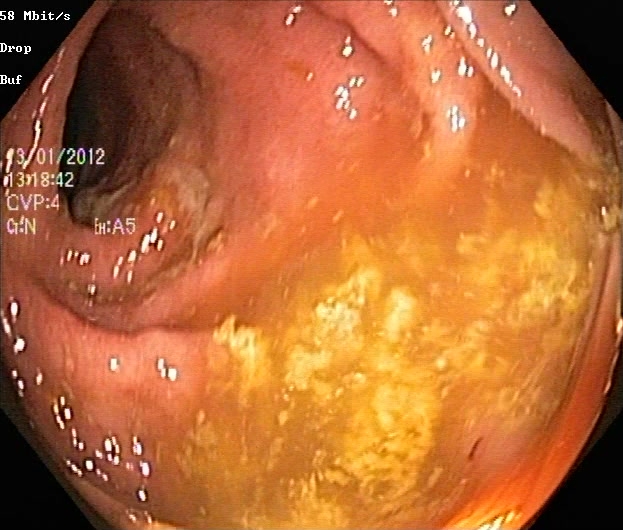Lower gastrointestinal endoscopy. Pathological finding. Finding: UC, Mayo endoscopic subscore 2.